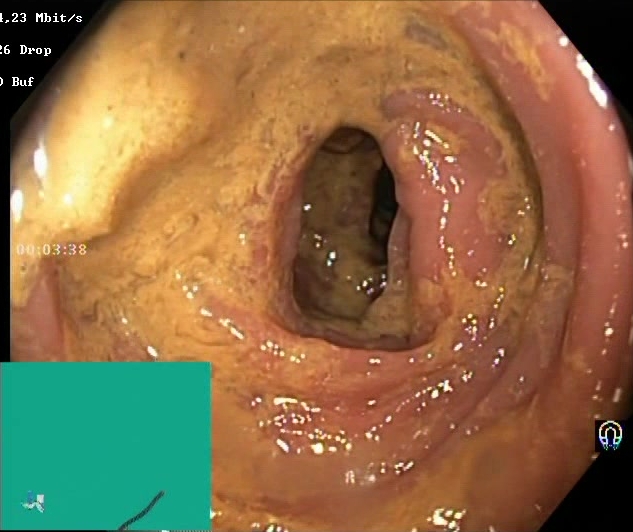GI endoscopy image of the lower GI tract showing Boston Bowel Preparation Scale score 0–1 (inadequate preparation).